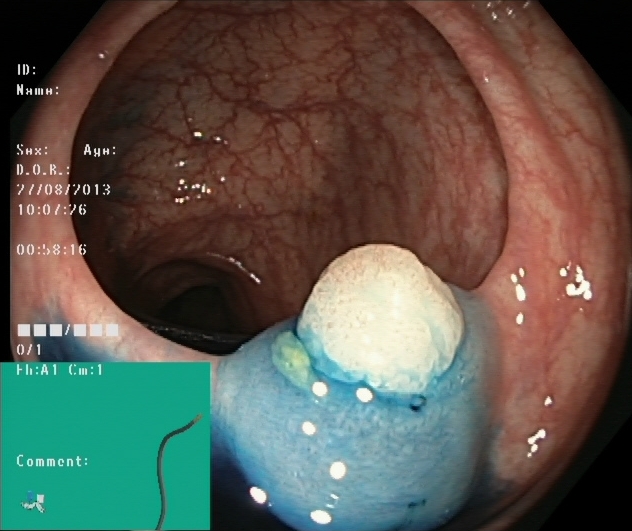{"modality": "lower-GI endoscopy", "category": "therapeutic intervention", "finding": "dyed and lifted polyp (pre-resection)"}